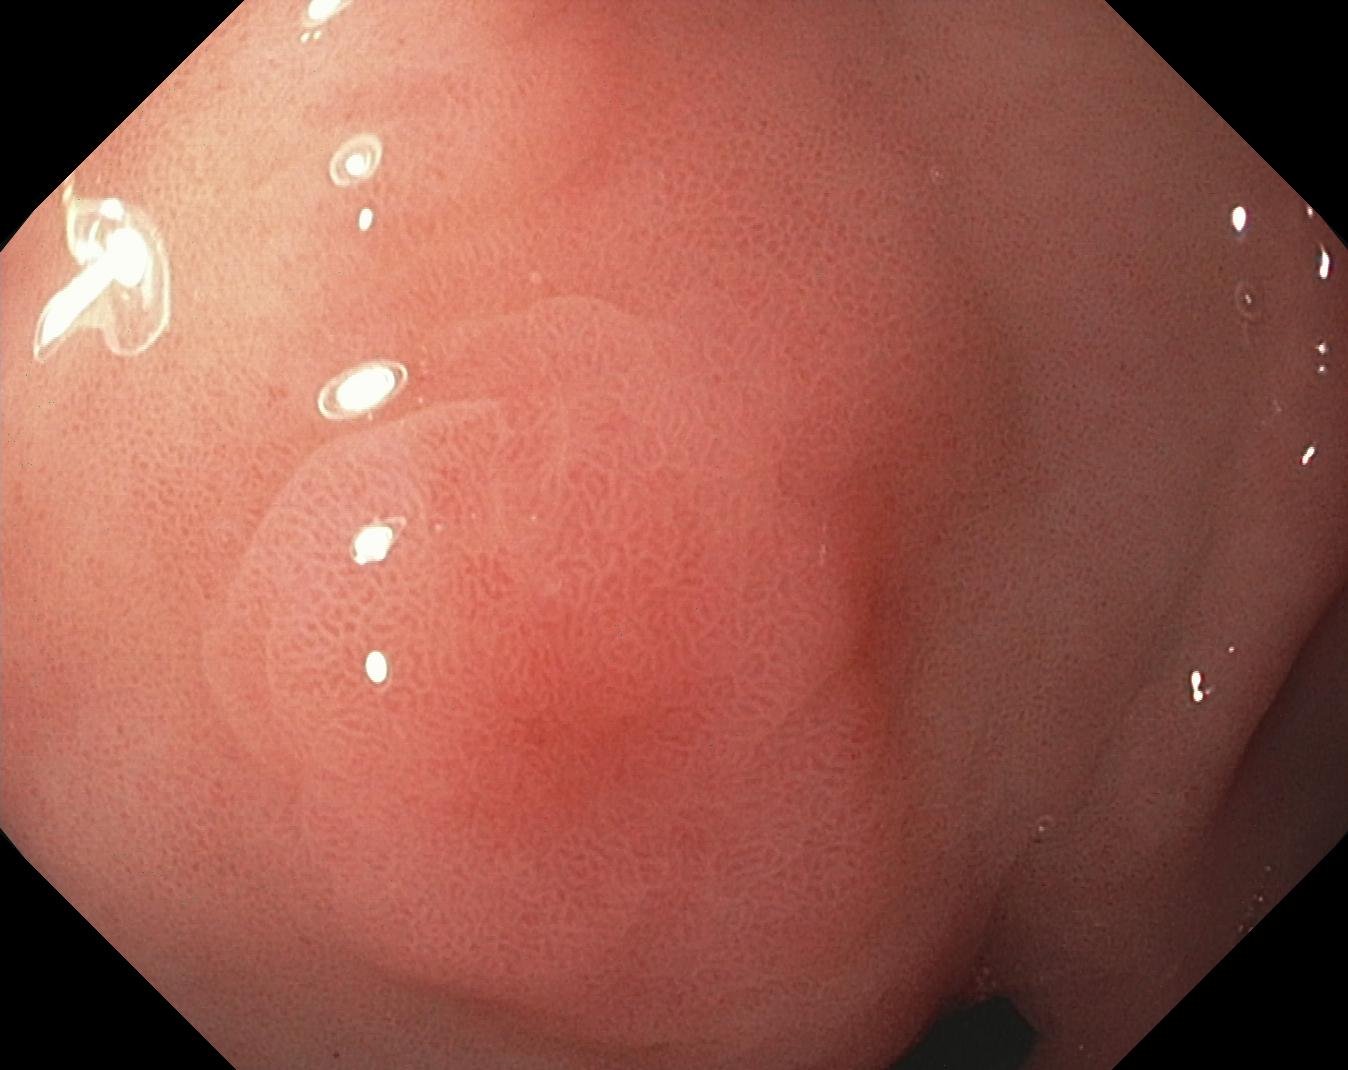PROCEDURE: Colonoscopy.
FINDINGS: Colorectal polyp(s).